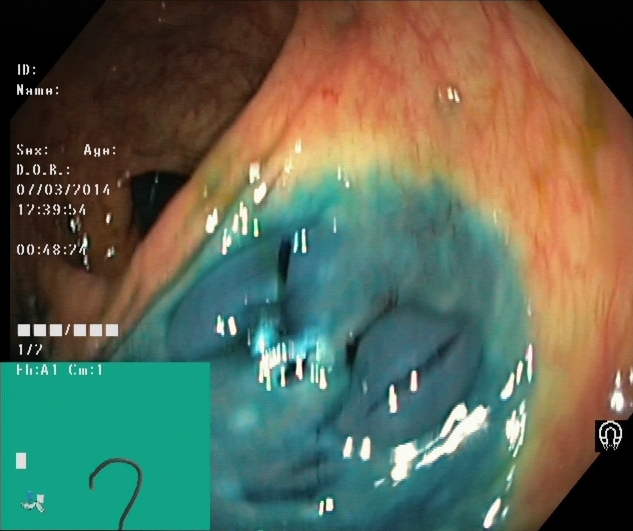PROCEDURE: Lower gastrointestinal endoscopy.
FINDINGS: Dyed resection margins (post-polypectomy).